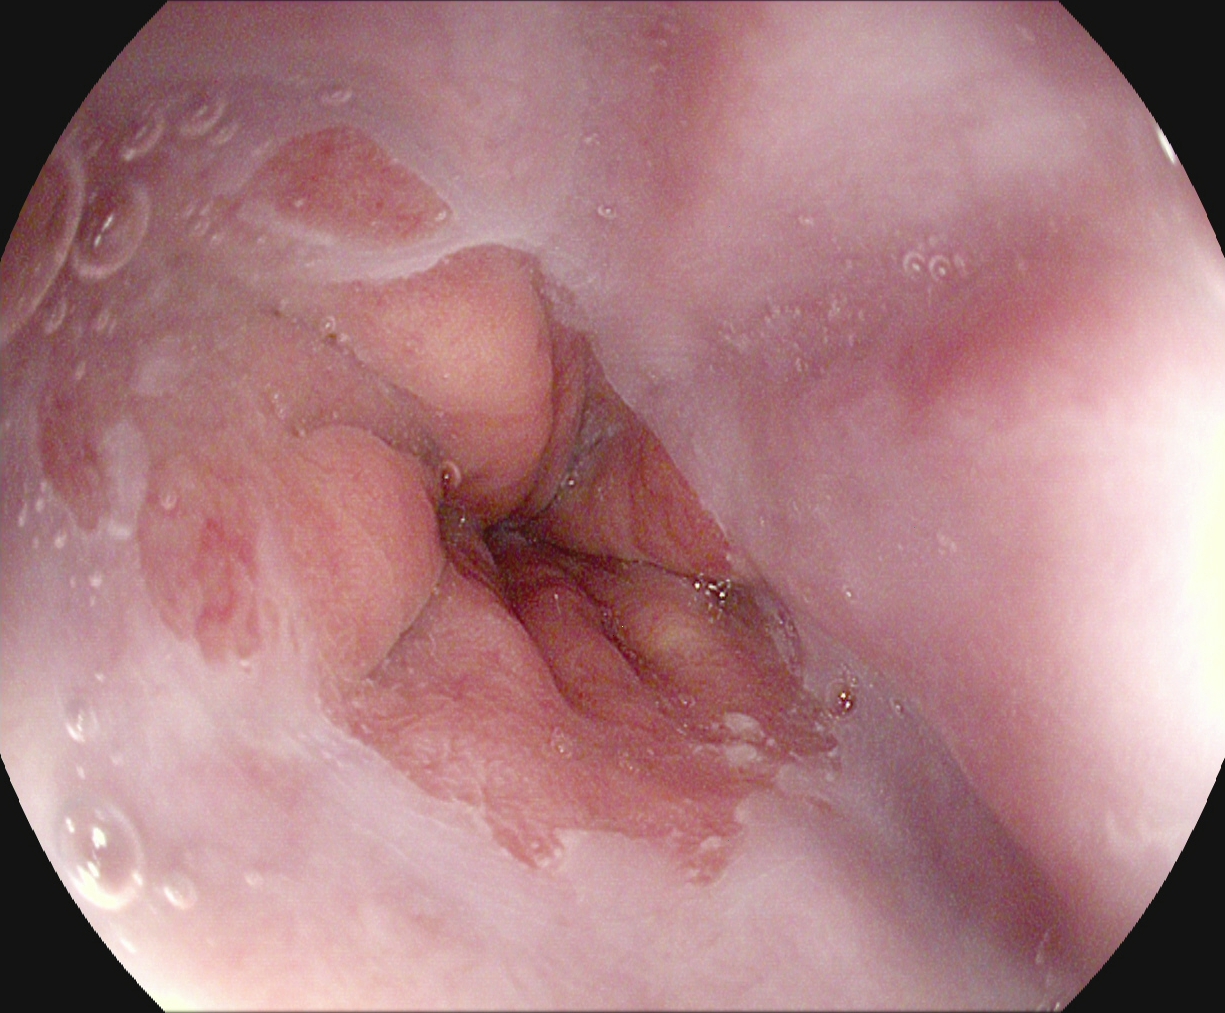modality: esophagogastroduodenoscopy
tract: upper GI tract
category: anatomical landmark
finding: Z-line (gastroesophageal junction)